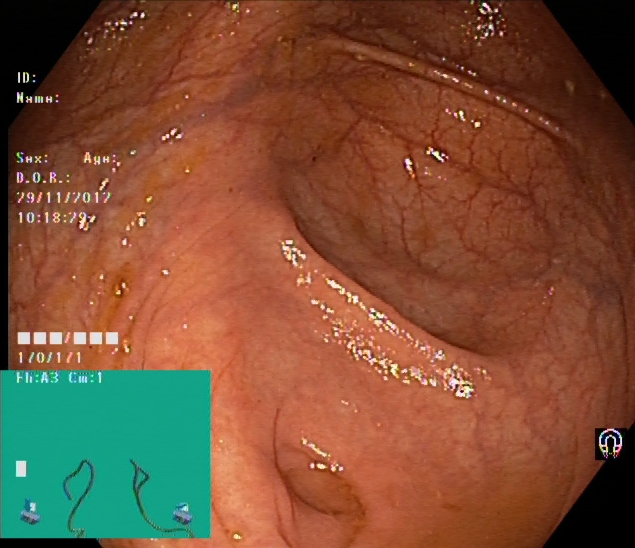Cecum.